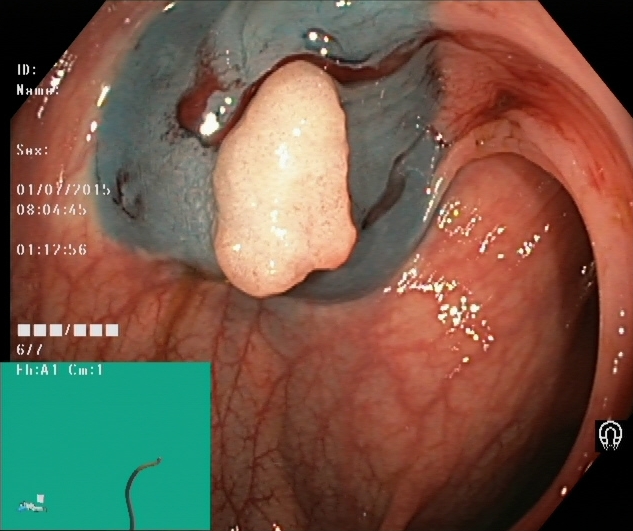Endoscopic frame of the lower GI tract showing dyed and lifted polyp (pre-resection).